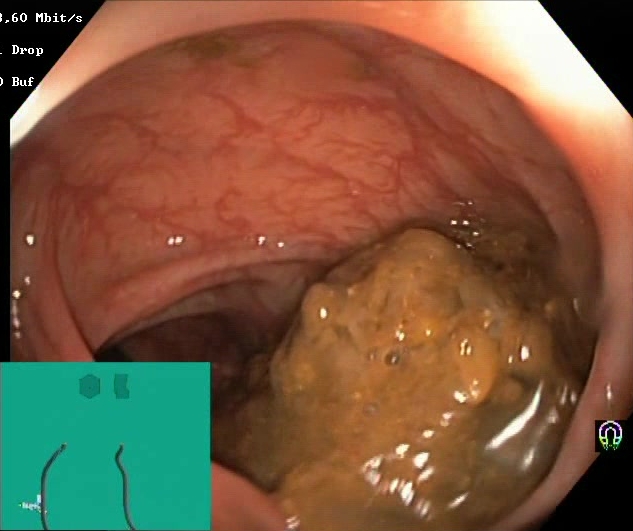Boston Bowel Preparation Scale score 0–1 (inadequate preparation).